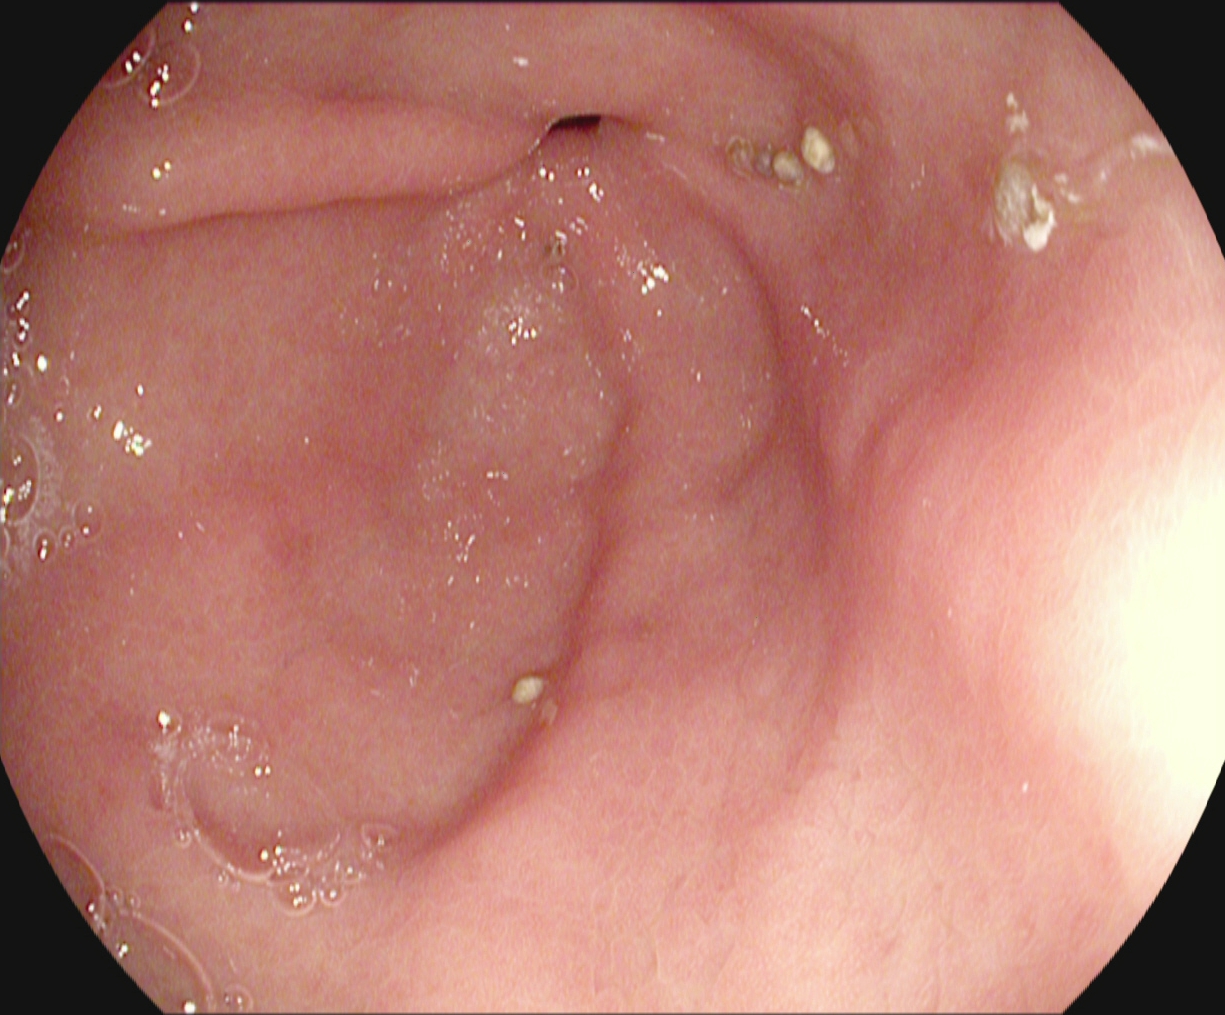This endoscopic image shows pylorus.